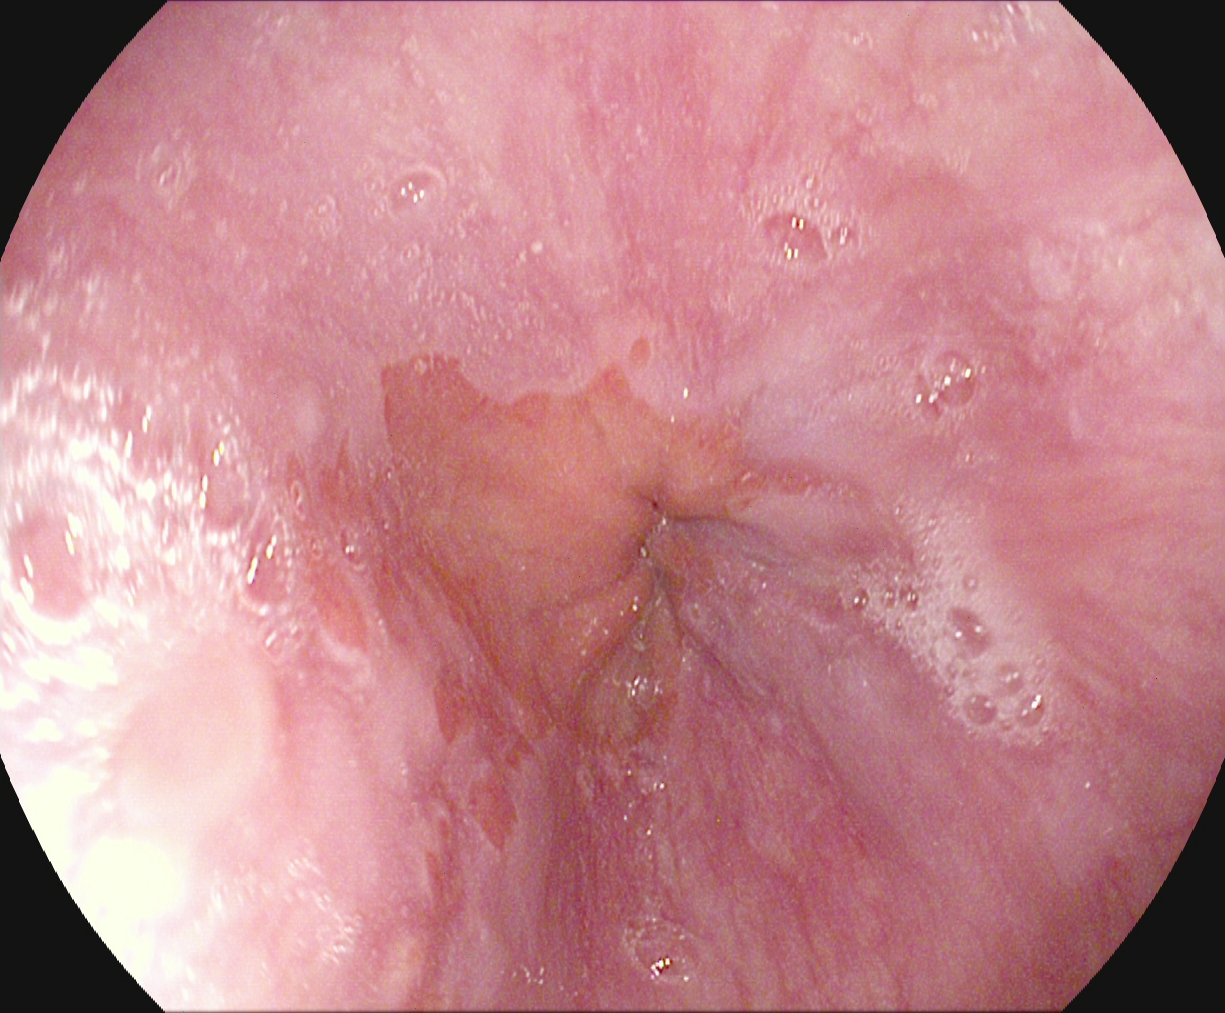Upper-GI endoscopy. Tract: upper GI tract. Pathological finding. Finding: reflux esophagitis, Los Angeles grade A.